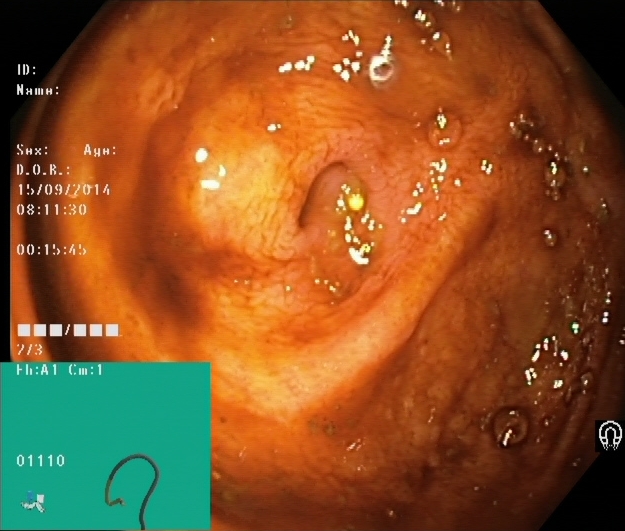{"modality": "lower gastrointestinal endoscopy", "tract": "lower GI tract", "finding": "cecum"}